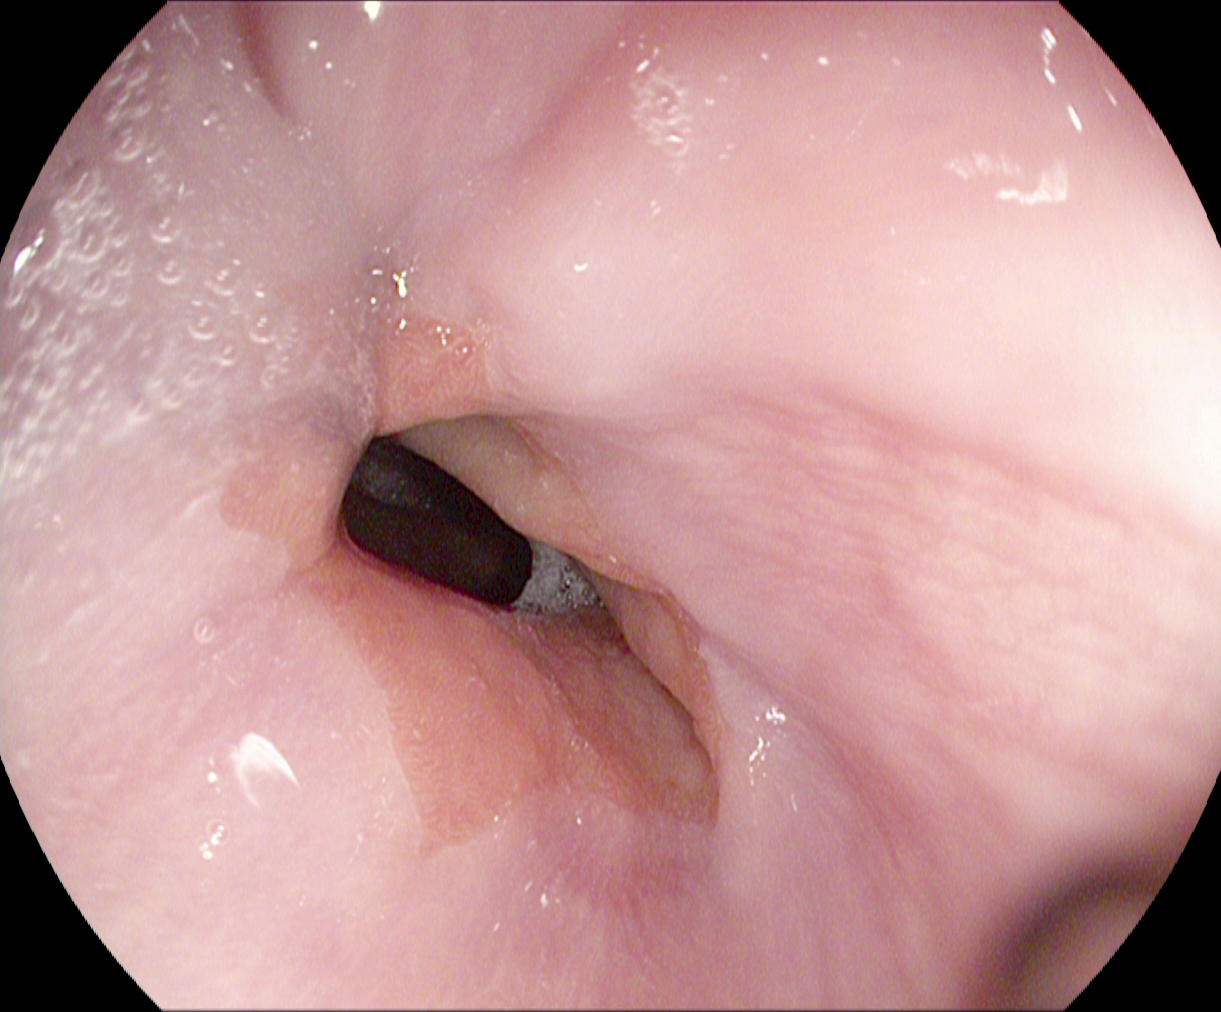This endoscopic image shows Z-line (gastroesophageal junction).